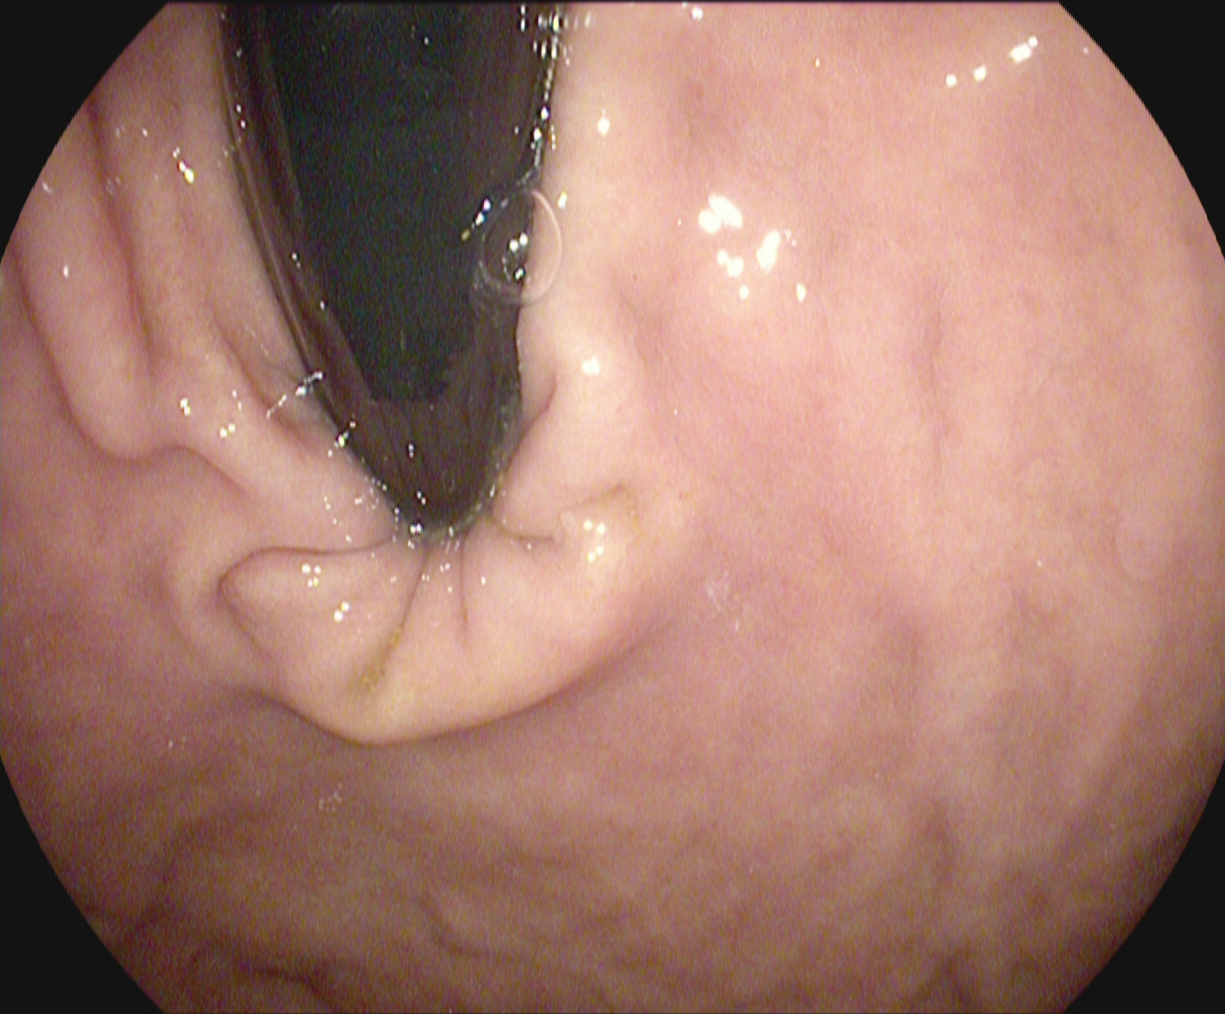PROCEDURE: EGD.
FINDINGS: Stomach in retroflexion.